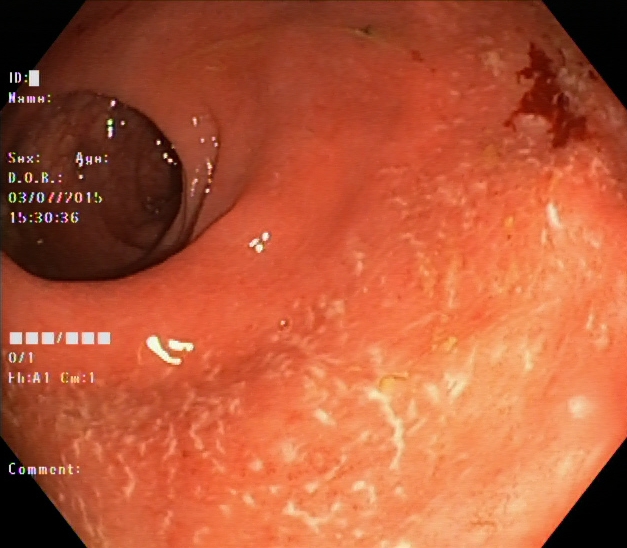UC, Mayo endoscopic subscore 2.